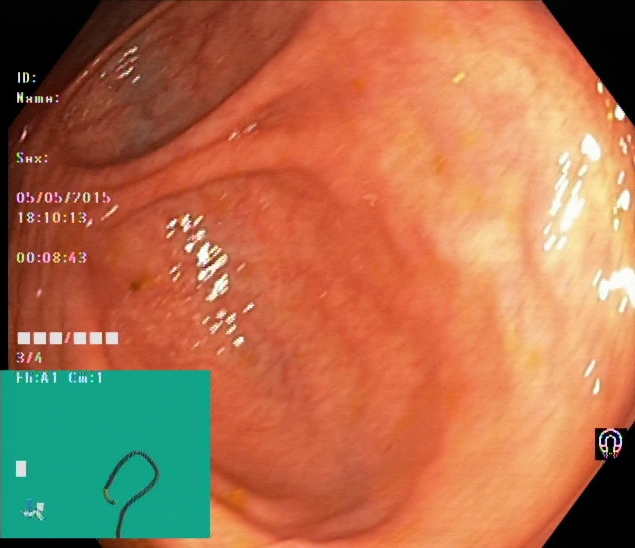modality: lower-GI endoscopy; tract: lower GI tract; category: anatomical landmark; finding: cecum